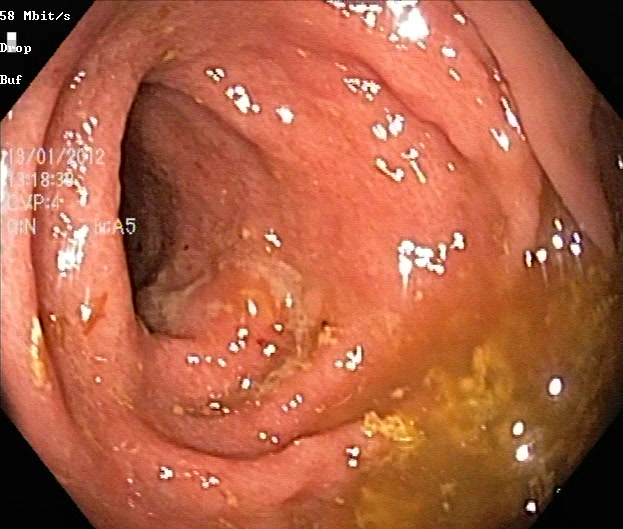ulcerative colitis, Mayo endoscopic subscore 2.